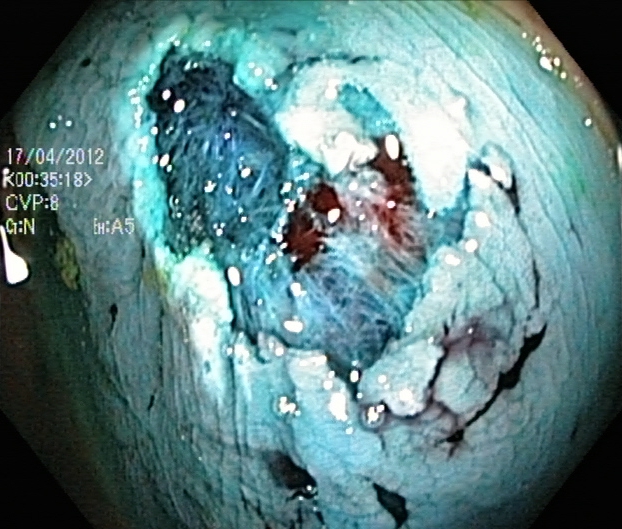PROCEDURE: Lower gastrointestinal endoscopy.
FINDINGS: Dyed resection margins (post-polypectomy).